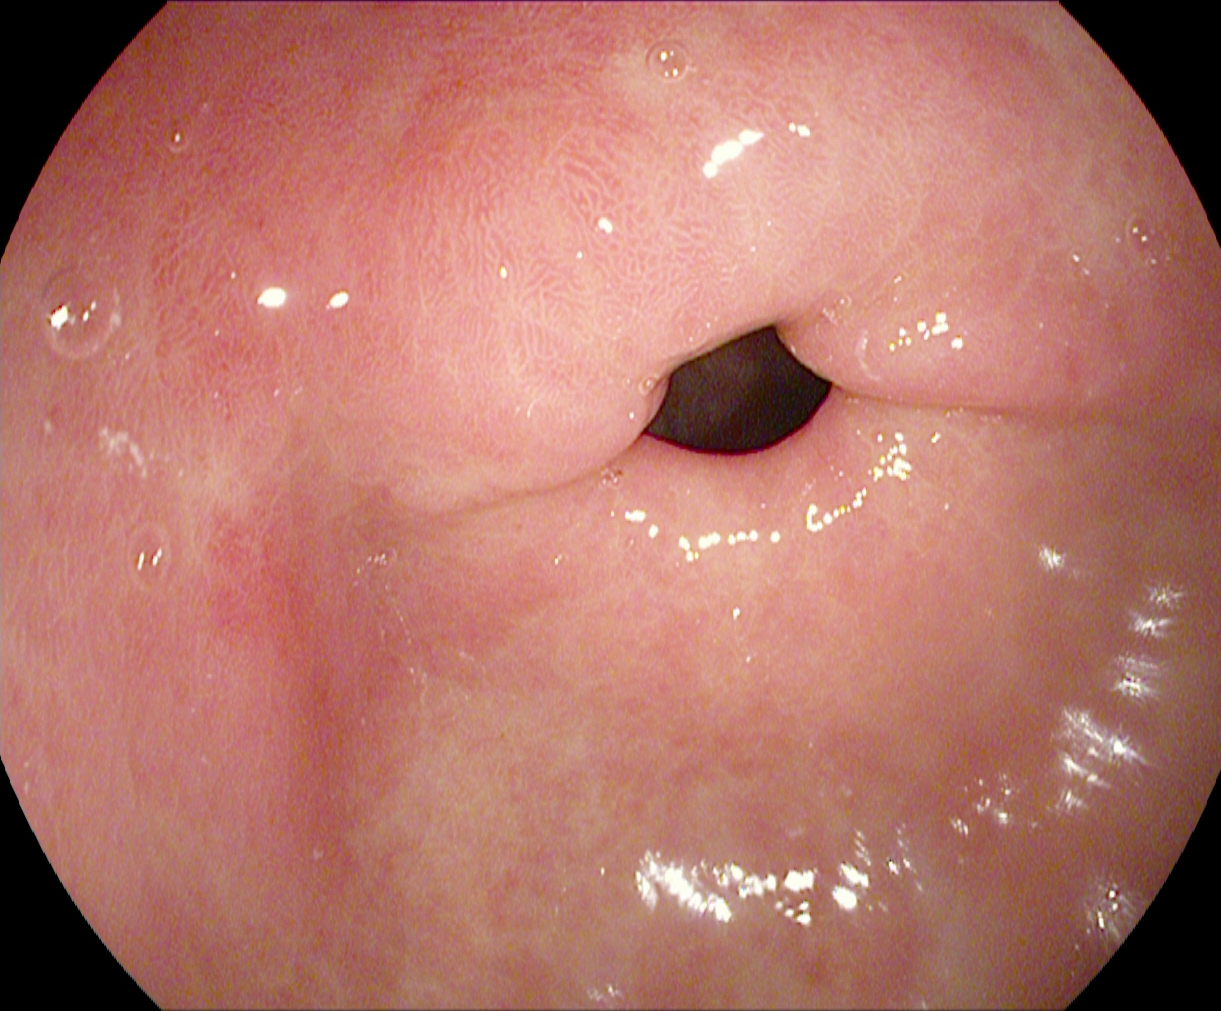modality: esophagogastroduodenoscopy; category: anatomical landmark; finding: pylorus